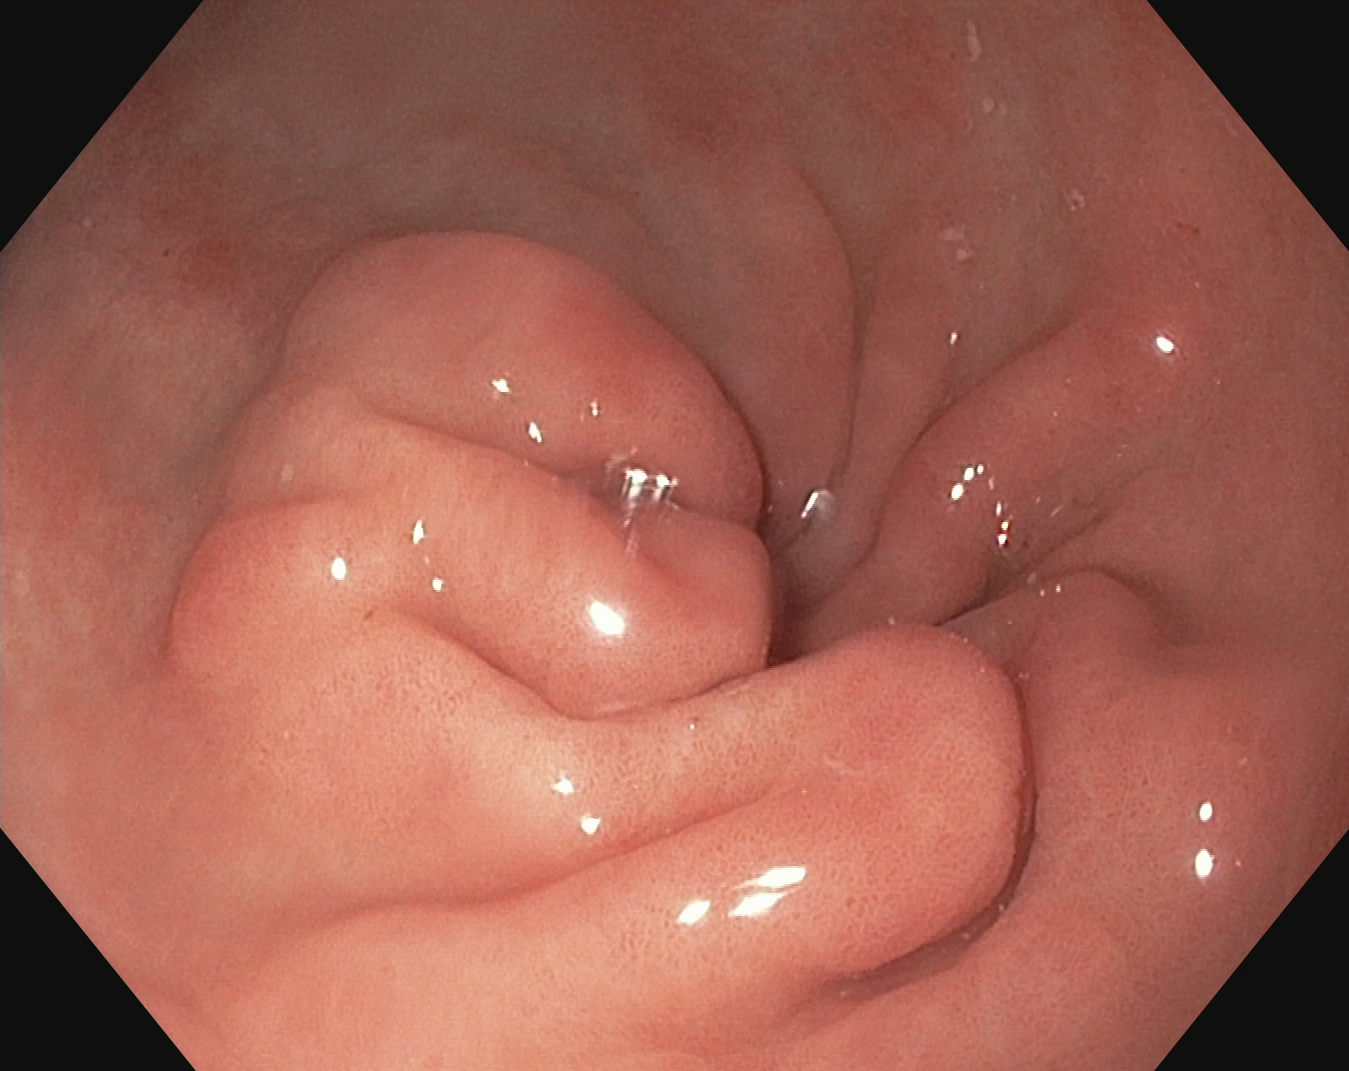Gastroscopy — pylorus.